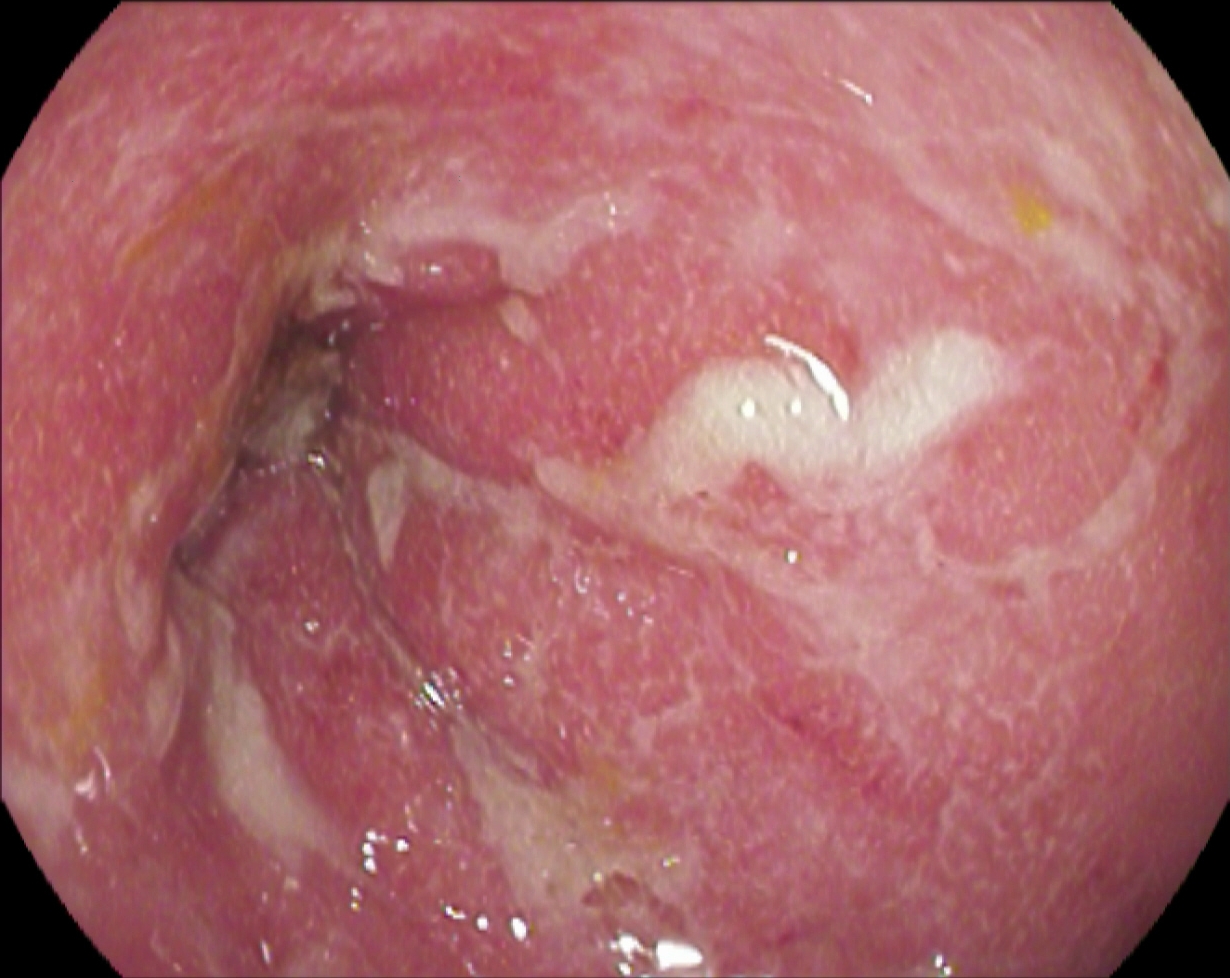PROCEDURE: Lower gastrointestinal endoscopy.
CATEGORY: Pathological finding.
FINDINGS: Ulcerative colitis, Mayo endoscopic subscore 2.